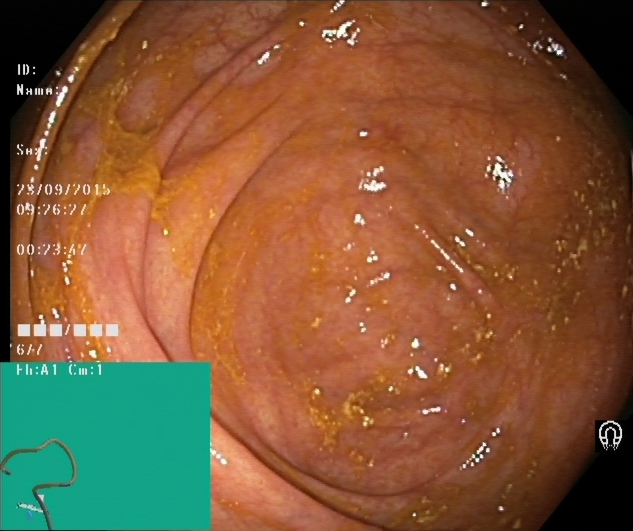{"modality": "lower-GI endoscopy", "tract": "lower GI tract", "category": "anatomical landmark", "finding": "cecum"}